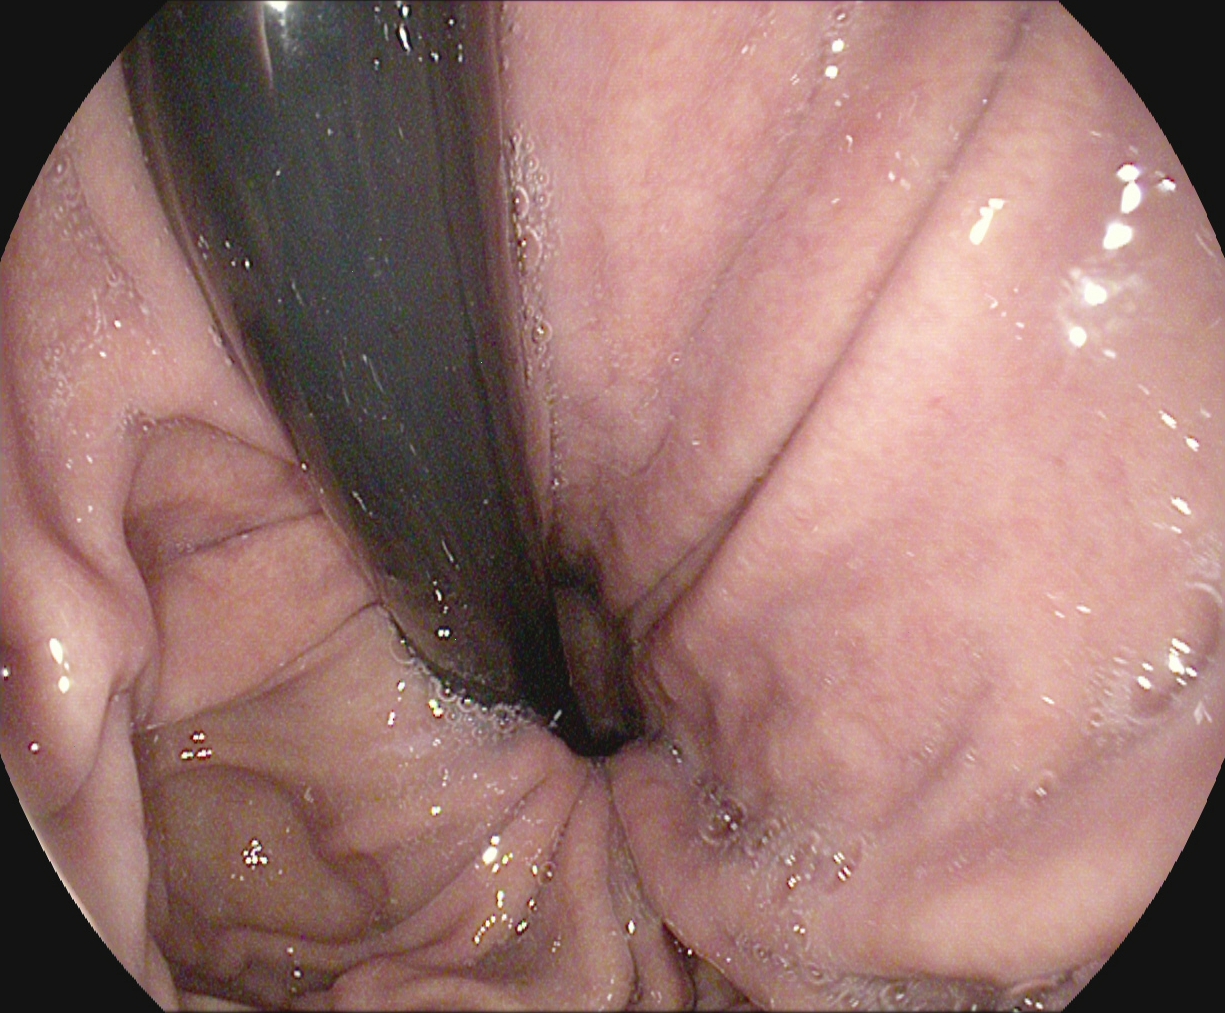This endoscopic image shows stomach in retroflexion.